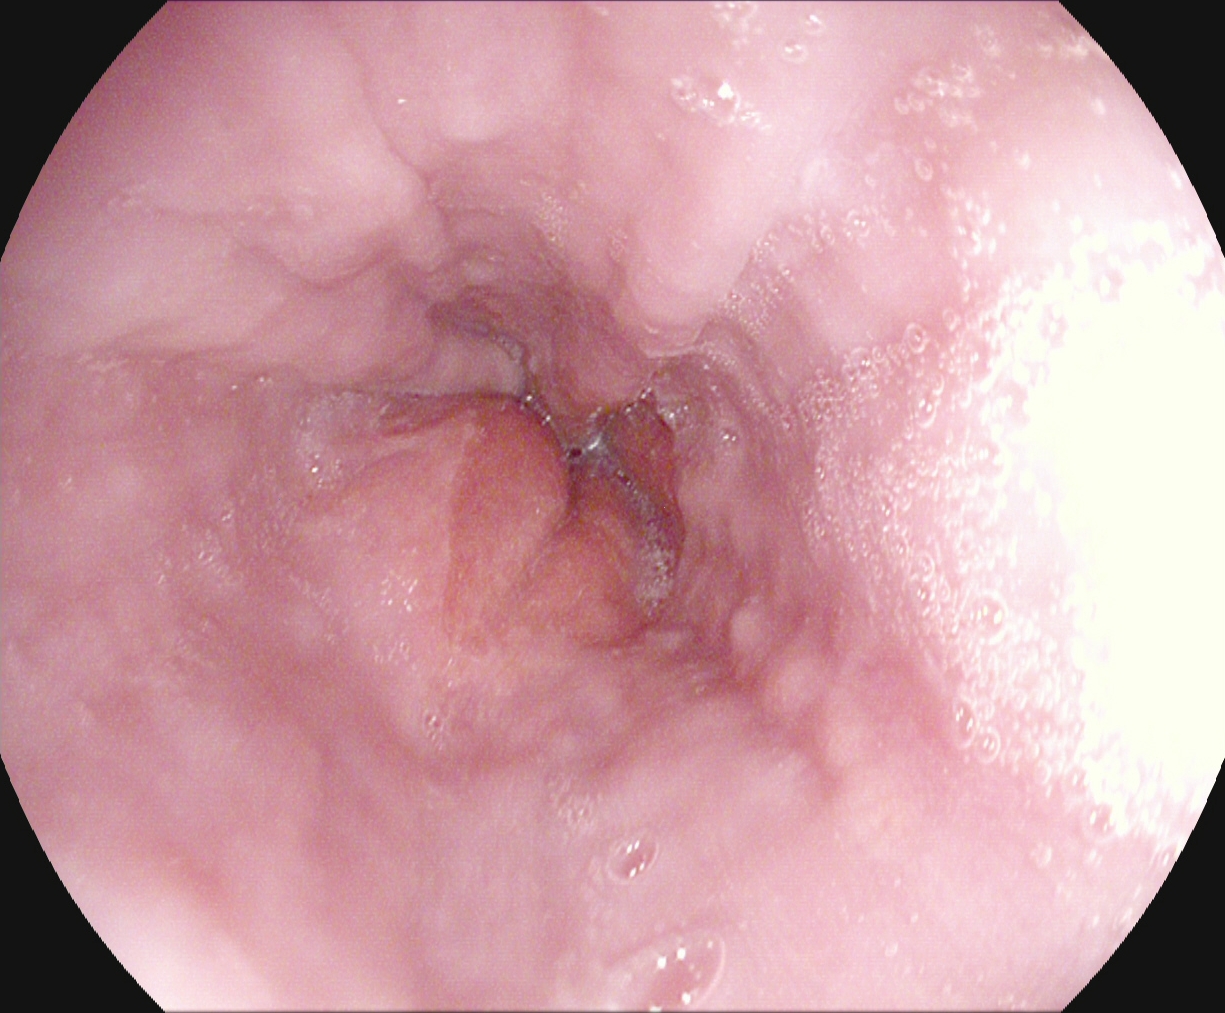This endoscopic image of the upper GI tract shows Z-line (gastroesophageal junction).